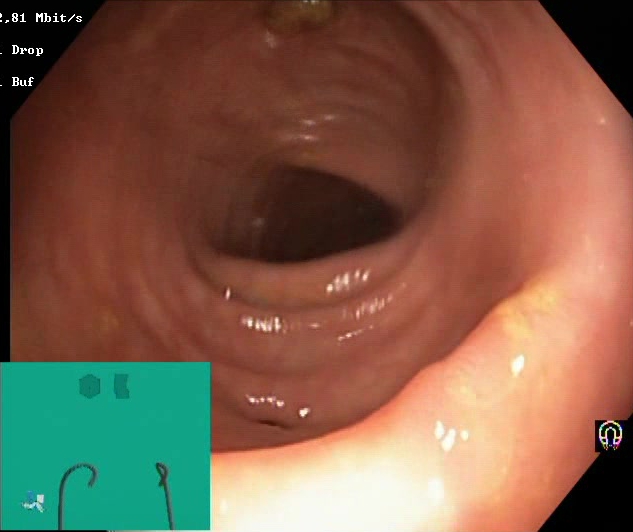Boston Bowel Preparation Scale score 2–3 (adequate preparation).